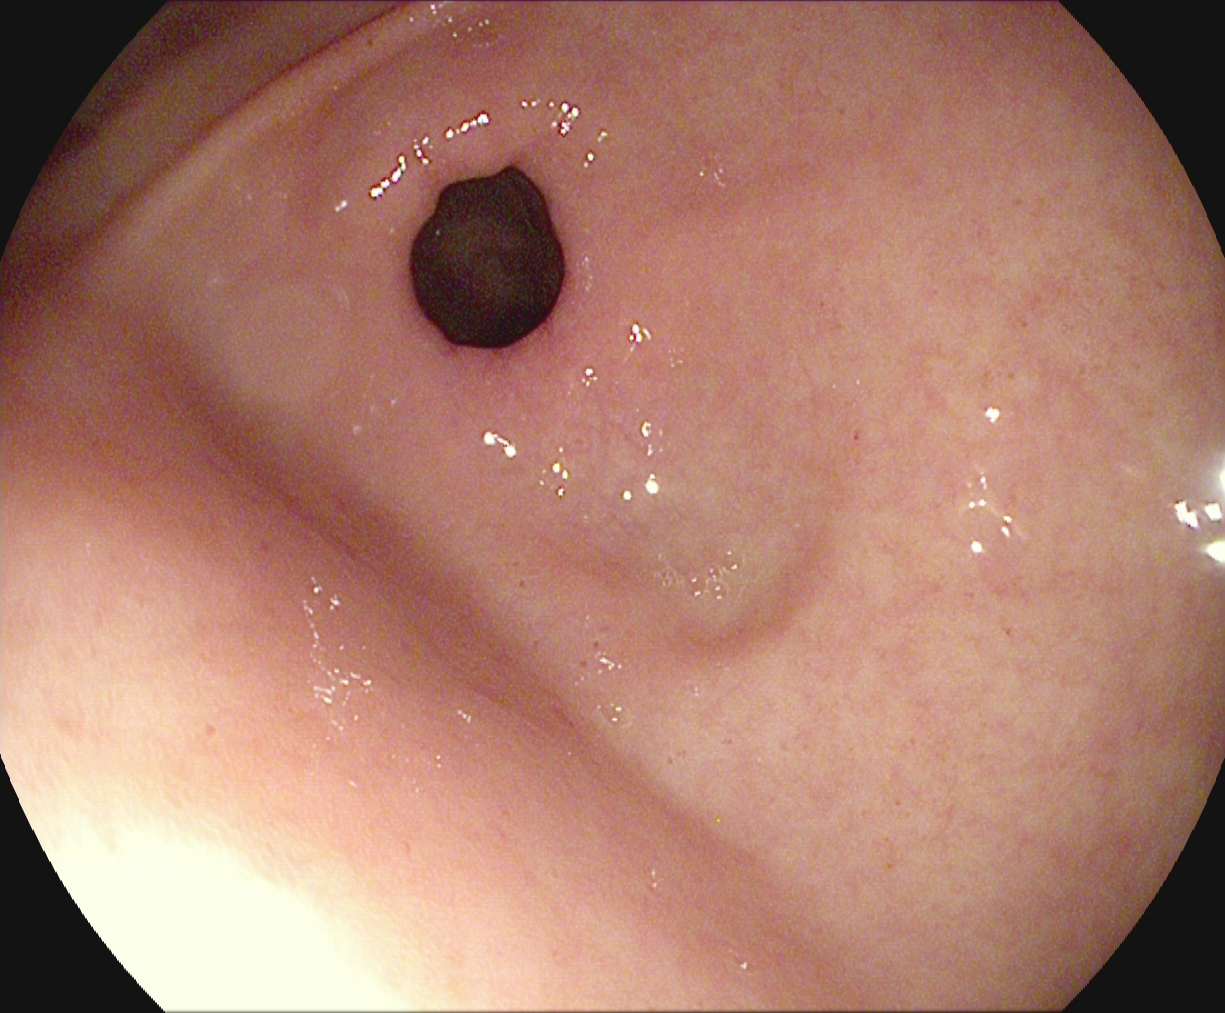Gastroscopy image of the upper GI tract showing pylorus.